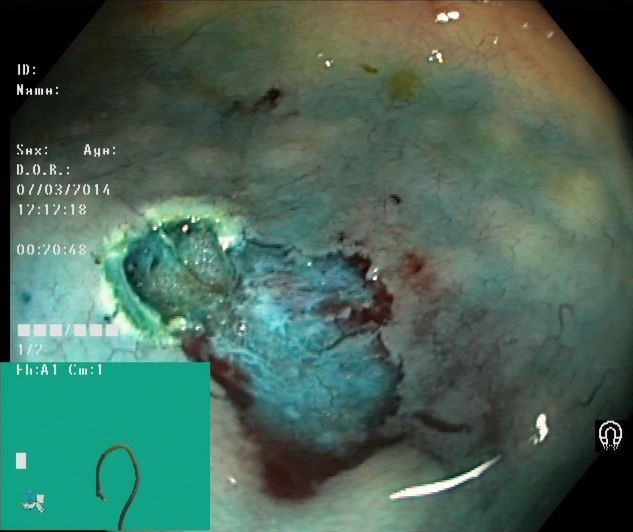Lower-GI endoscopy. Therapeutic intervention. Finding: dyed resection margins (post-polypectomy).